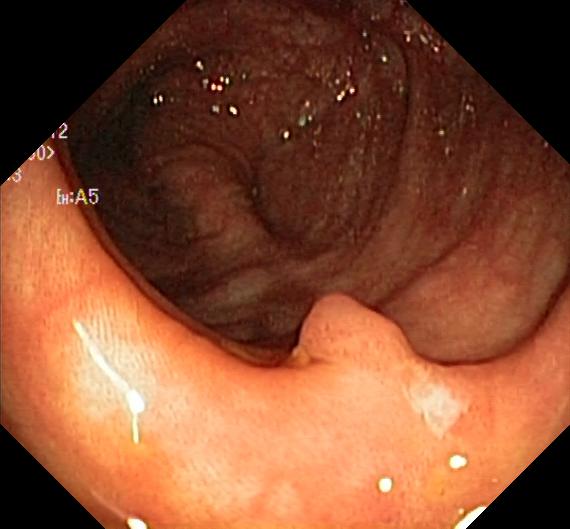{"modality": "lower gastrointestinal endoscopy", "tract": "lower GI tract", "finding": "colorectal polyp(s)"}